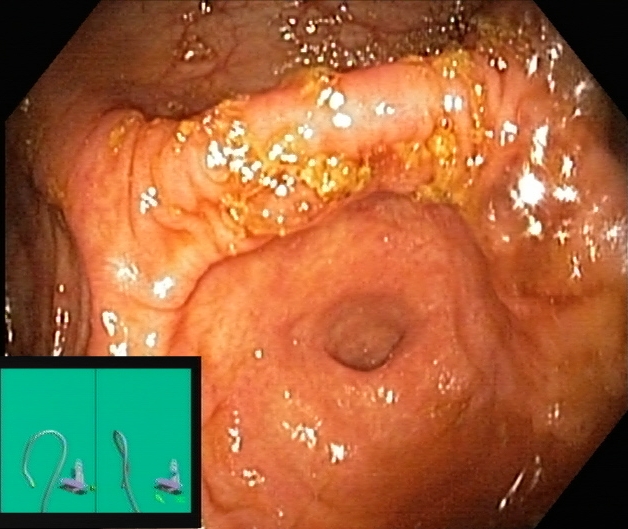Lower gastrointestinal endoscopy. Tract: lower GI tract. Anatomical landmark. Finding: cecum.